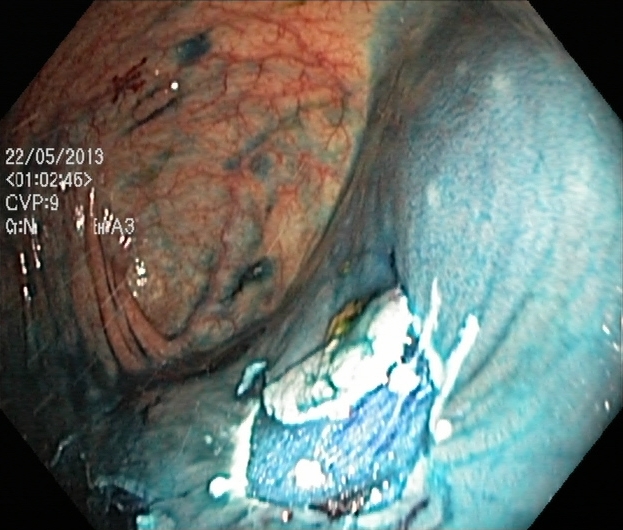Lower gastrointestinal endoscopy. Tract: lower GI tract. Finding: dyed resection margins (post-polypectomy).